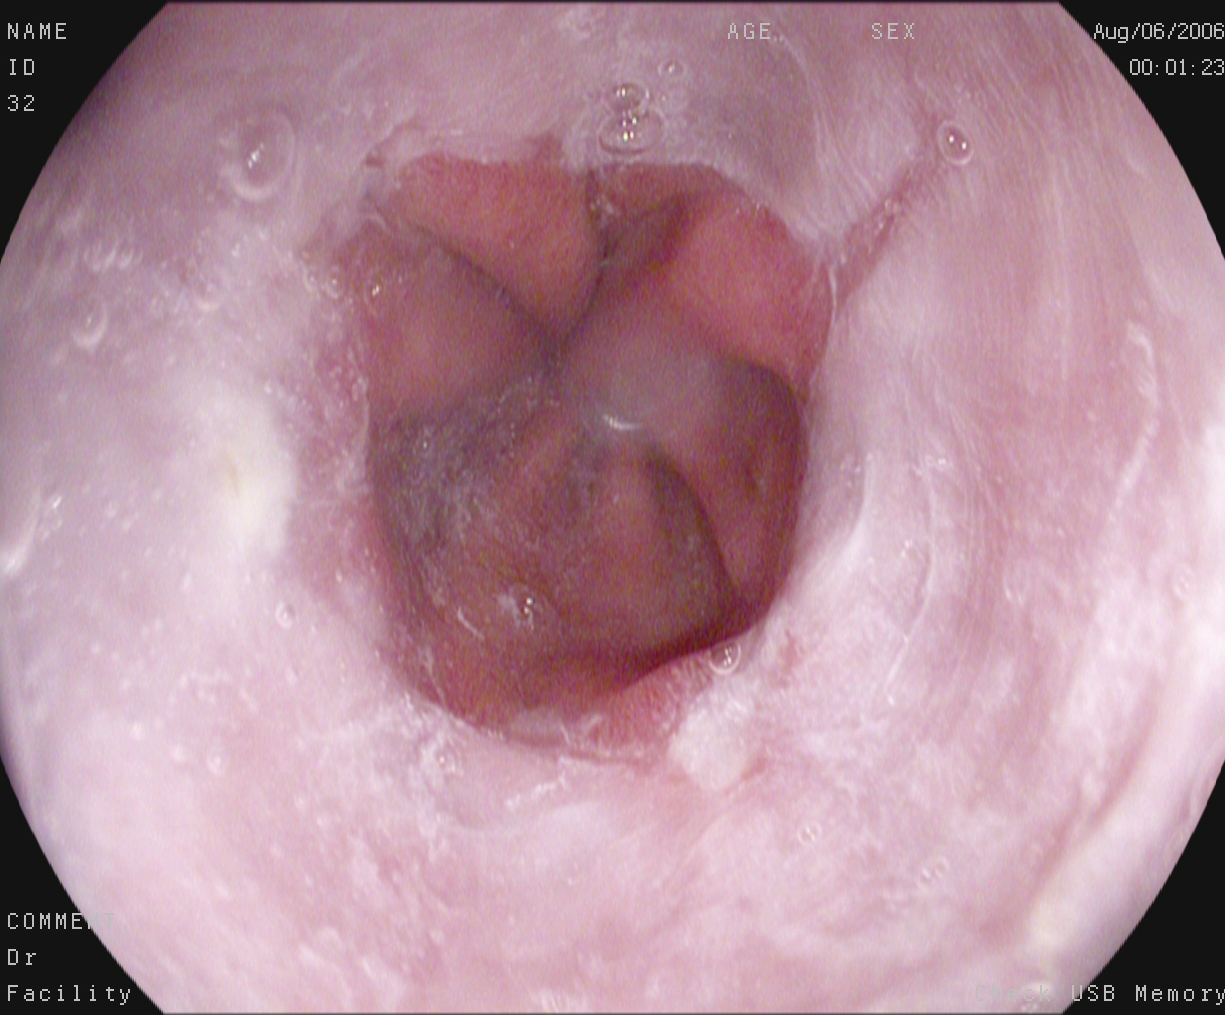reflux esophagitis, Los Angeles grade A.